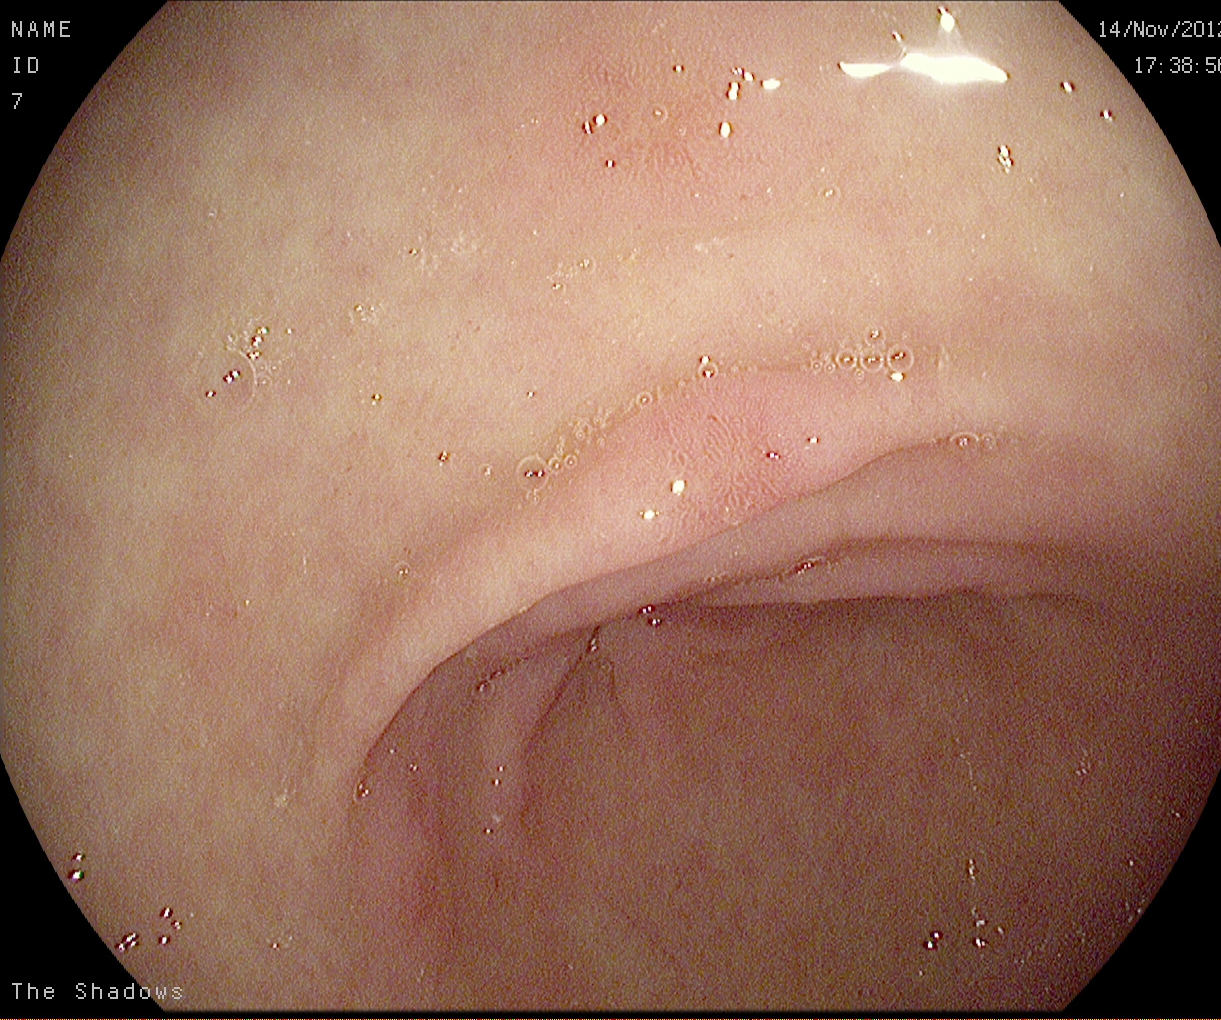This endoscopy frame of the upper GI tract shows pylorus.